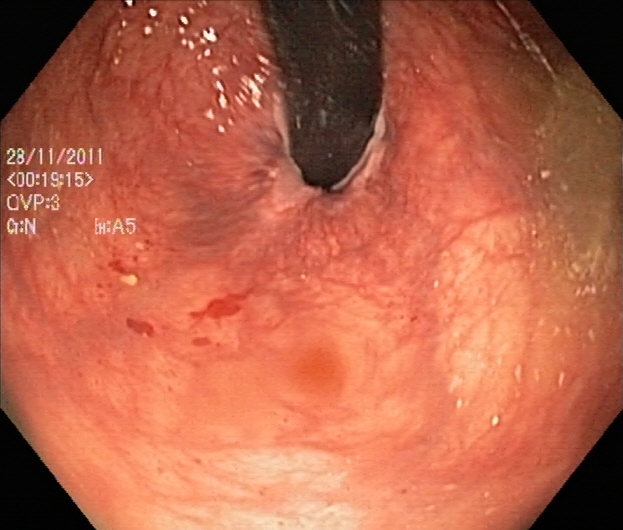Colonoscopy — rectum in retroflexion.